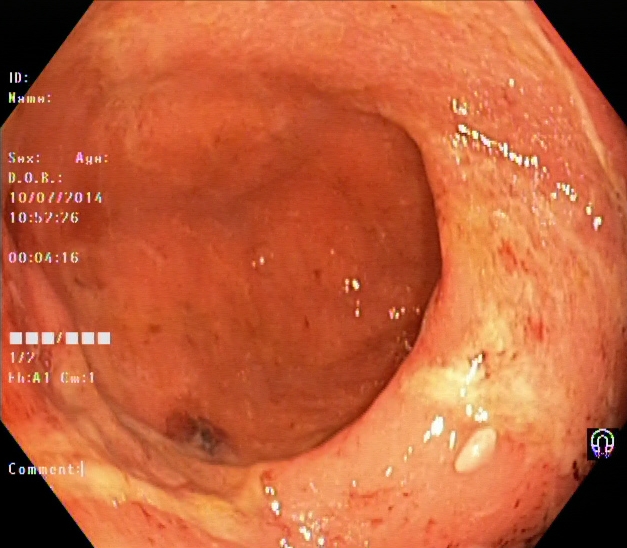This endoscopy frame of the lower GI tract shows ulcerative colitis, Mayo endoscopic subscore 1.